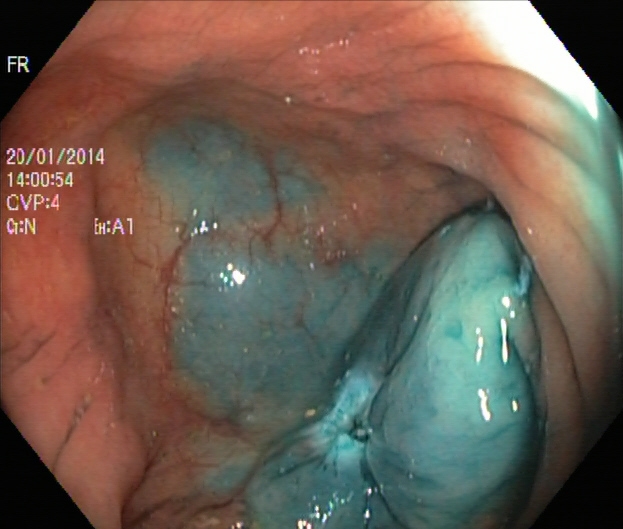modality: lower-GI endoscopy
tract: lower GI tract
finding: dyed resection margins (post-polypectomy)